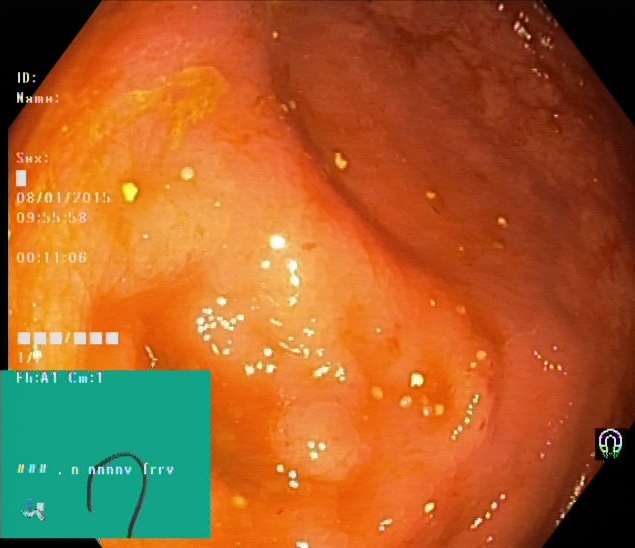Colonoscopy — cecum.